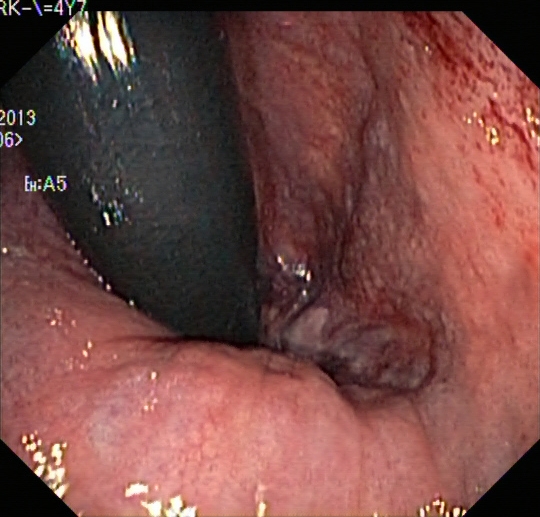{"modality": "lower-GI endoscopy", "category": "anatomical landmark", "finding": "rectum in retroflexion"}